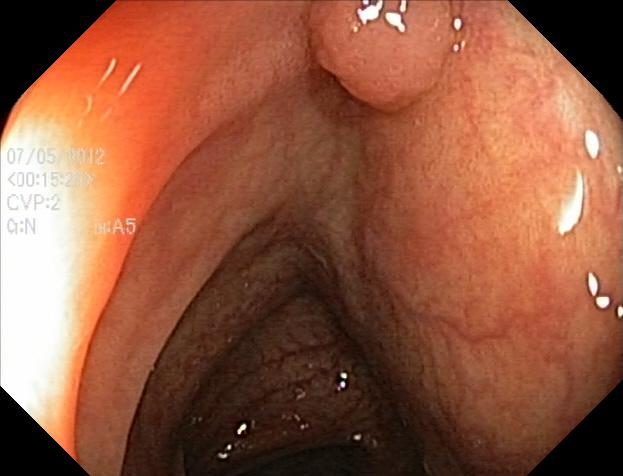This endoscopy frame of the lower GI tract shows colorectal polyp(s).